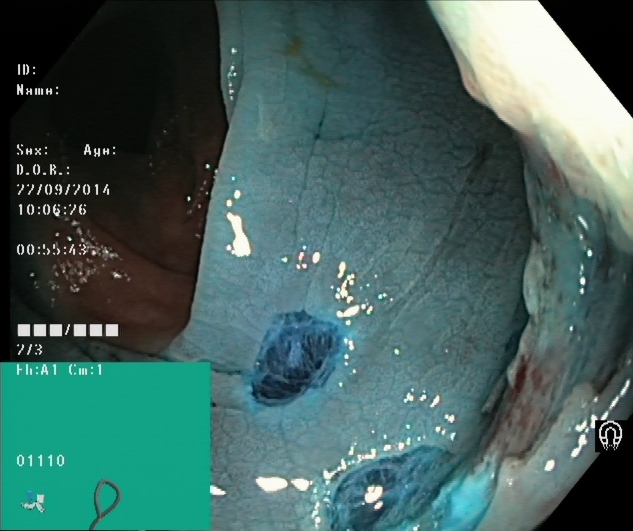Dyed resection margins (post-polypectomy).